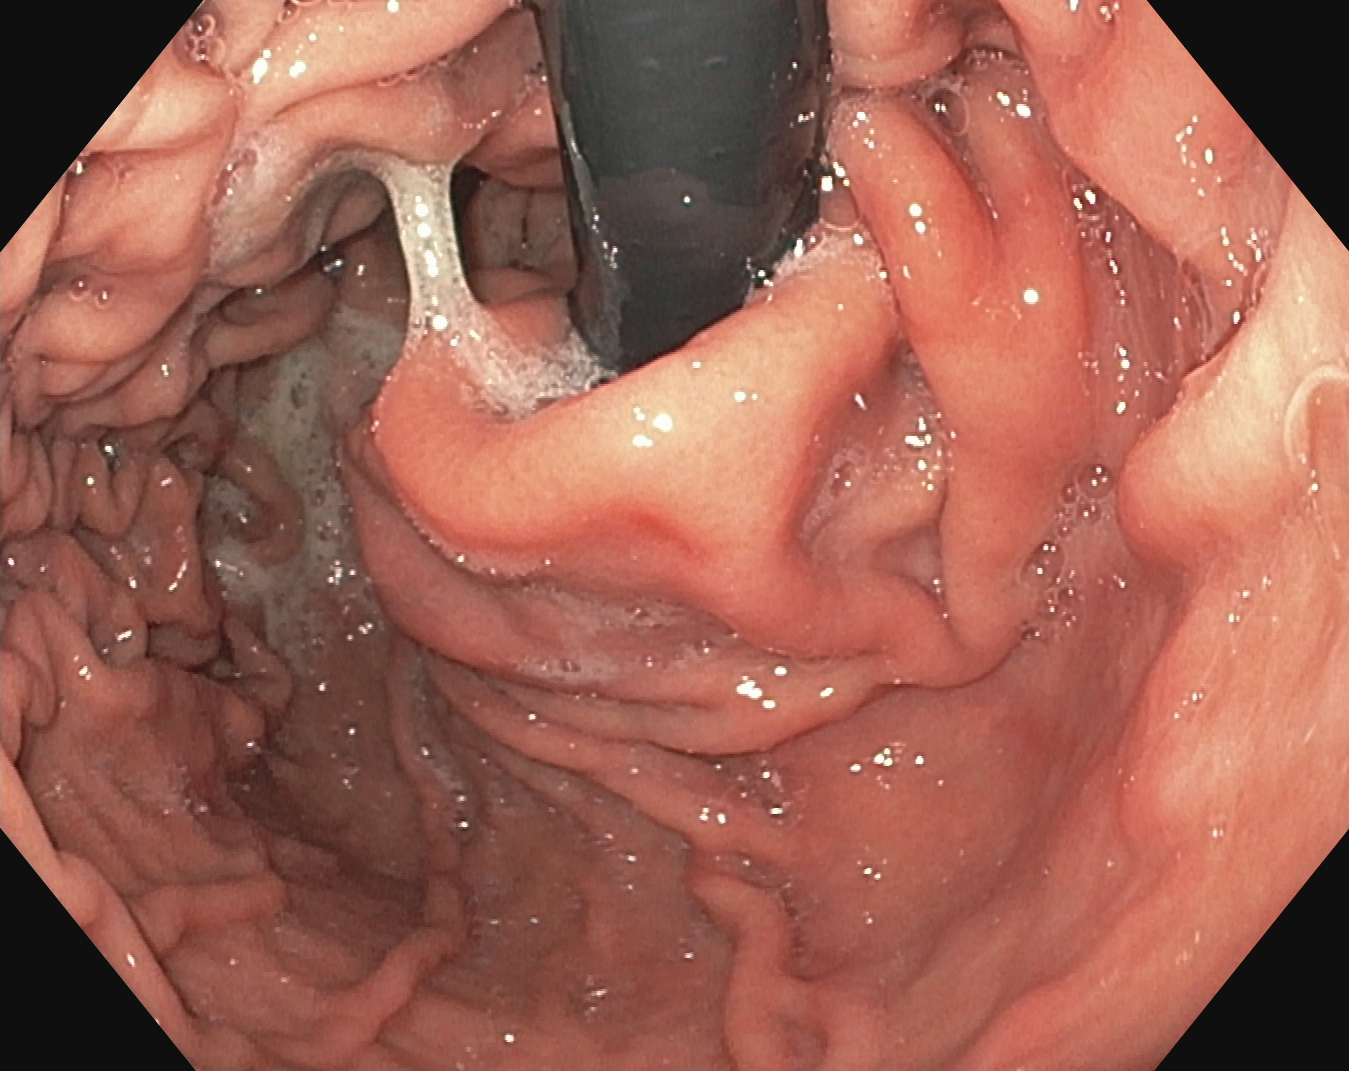Gastrointestinal endoscopy image of the upper GI tract showing stomach in retroflexion.